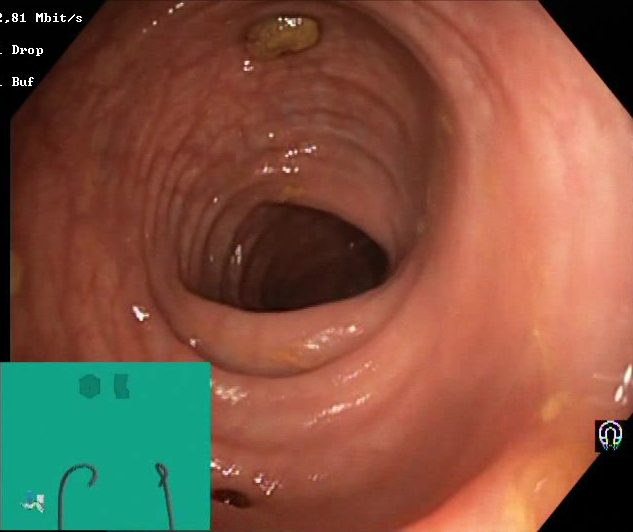{"modality": "colonoscopy", "tract": "lower GI tract", "finding": "impacted stool"}